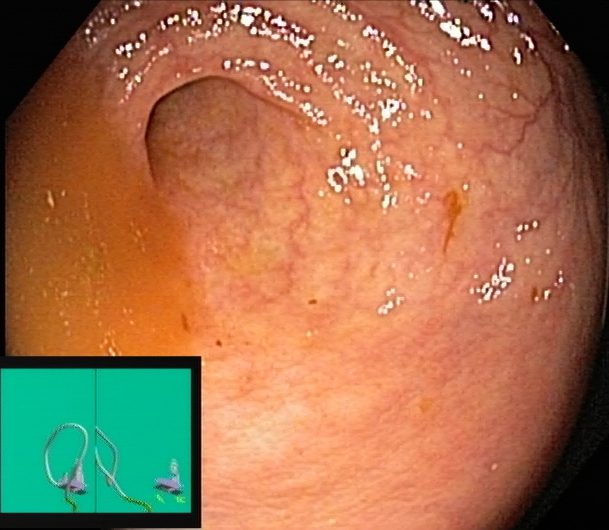Lower-GI endoscopy. Tract: lower GI tract. Finding: cecum.